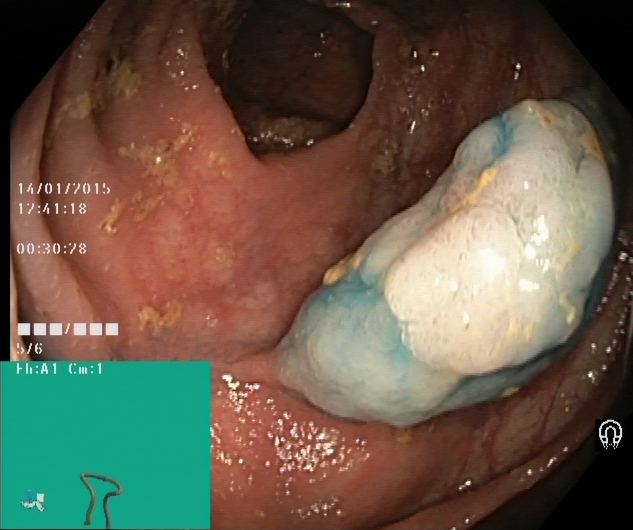PROCEDURE: Lower-GI endoscopy.
FINDINGS: Dyed and lifted polyp (pre-resection).